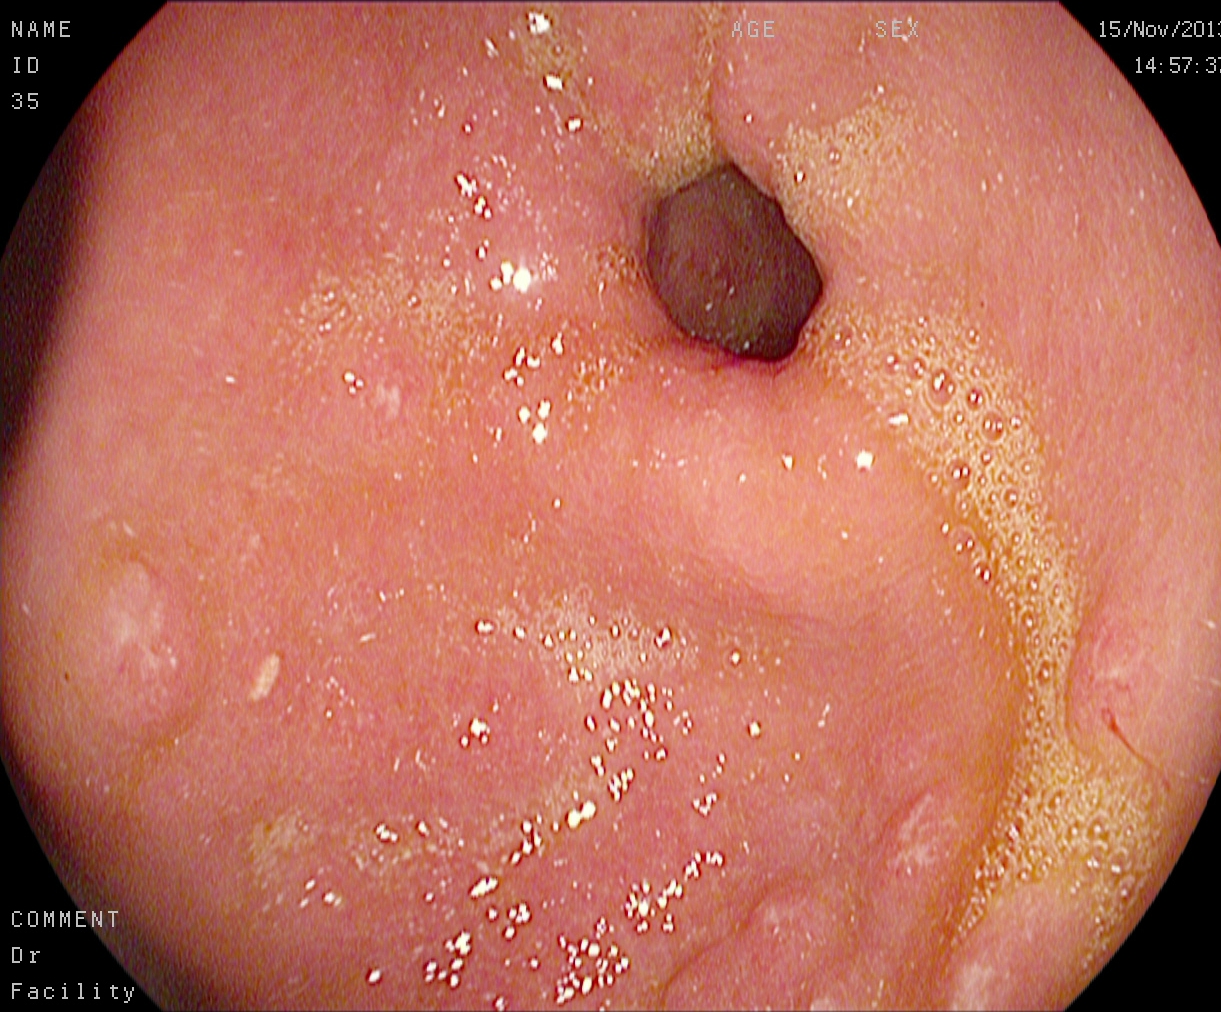Gastroscopy. Tract: upper GI tract. Anatomical landmark. Finding: pylorus.